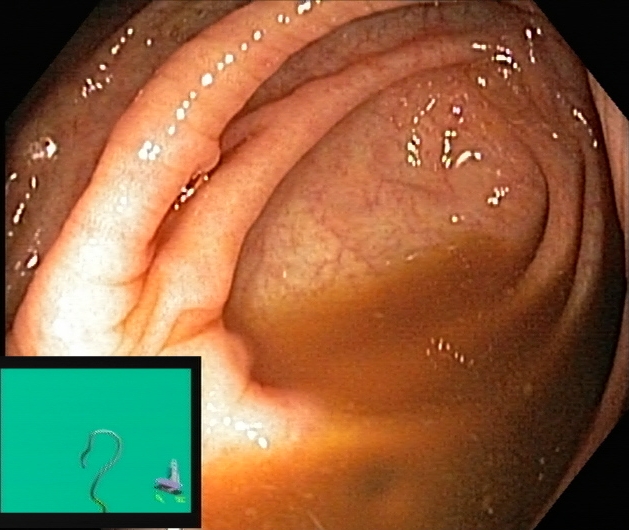Lower gastrointestinal endoscopy. Finding: cecum.